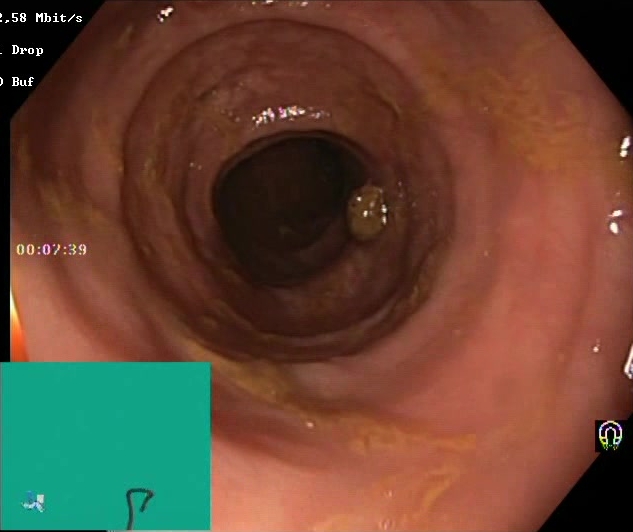PROCEDURE: Lower gastrointestinal endoscopy.
FINDINGS: Boston Bowel Preparation Scale score 2–3 (adequate preparation).